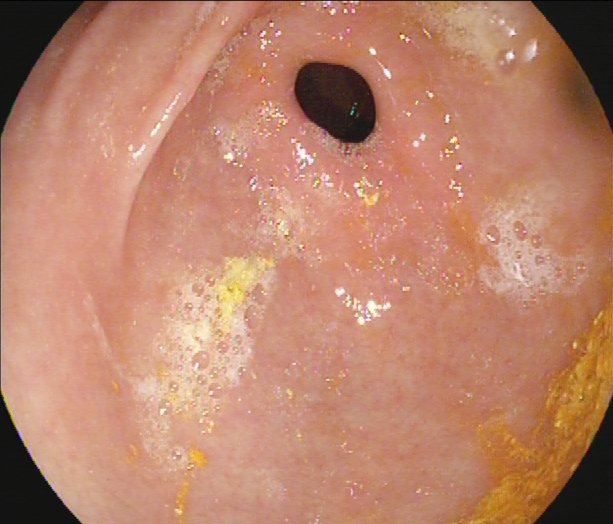Endoscopic image of the upper GI tract showing pylorus.